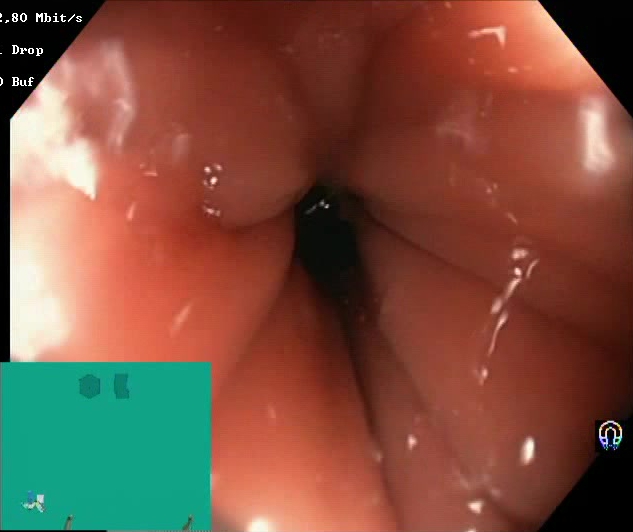This endoscopic image shows Boston Bowel Preparation Scale score 2–3 (adequate preparation).